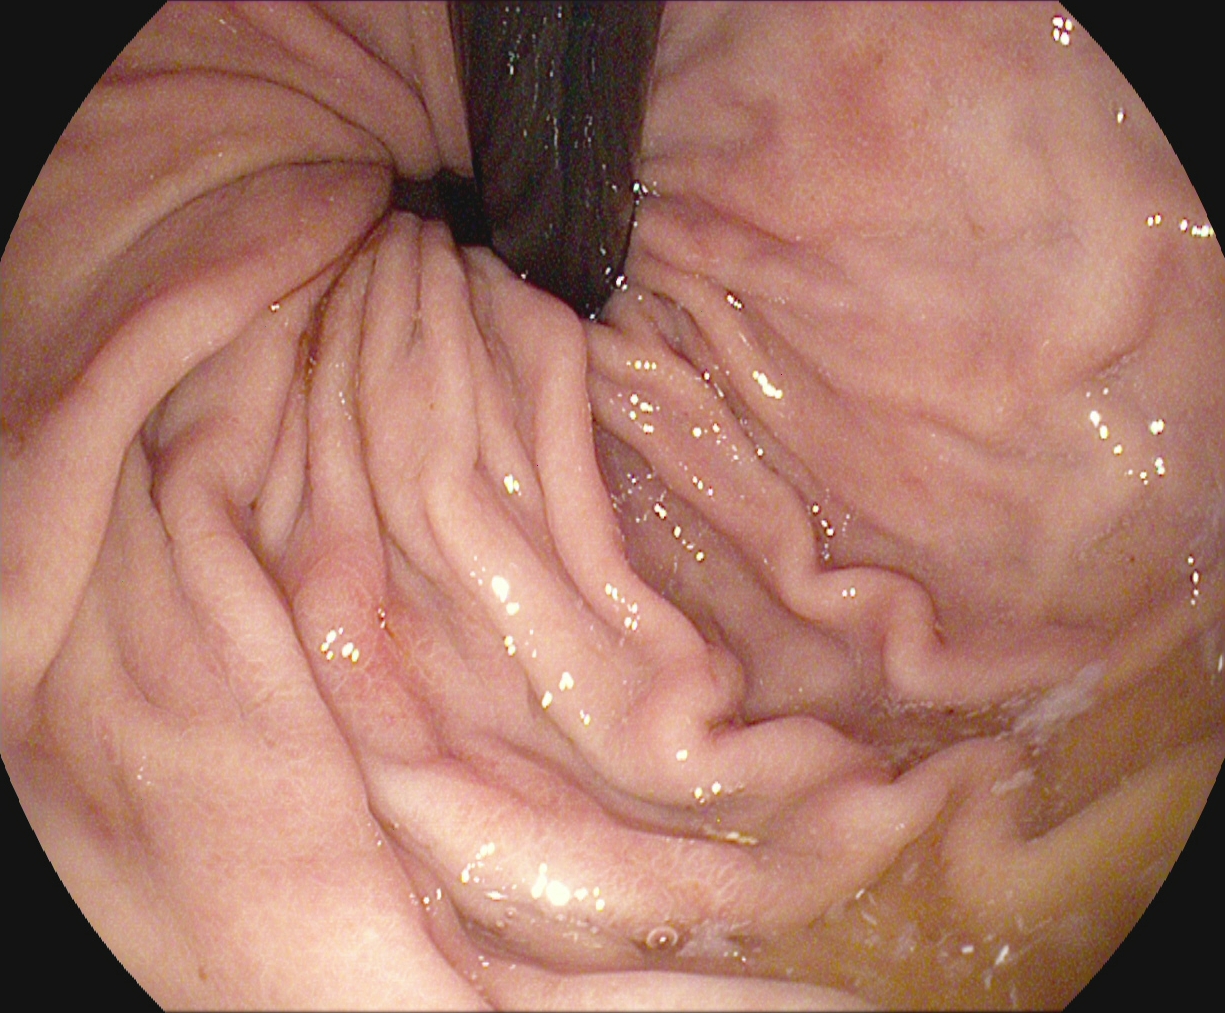Endoscopic frame of the upper GI tract showing stomach in retroflexion.